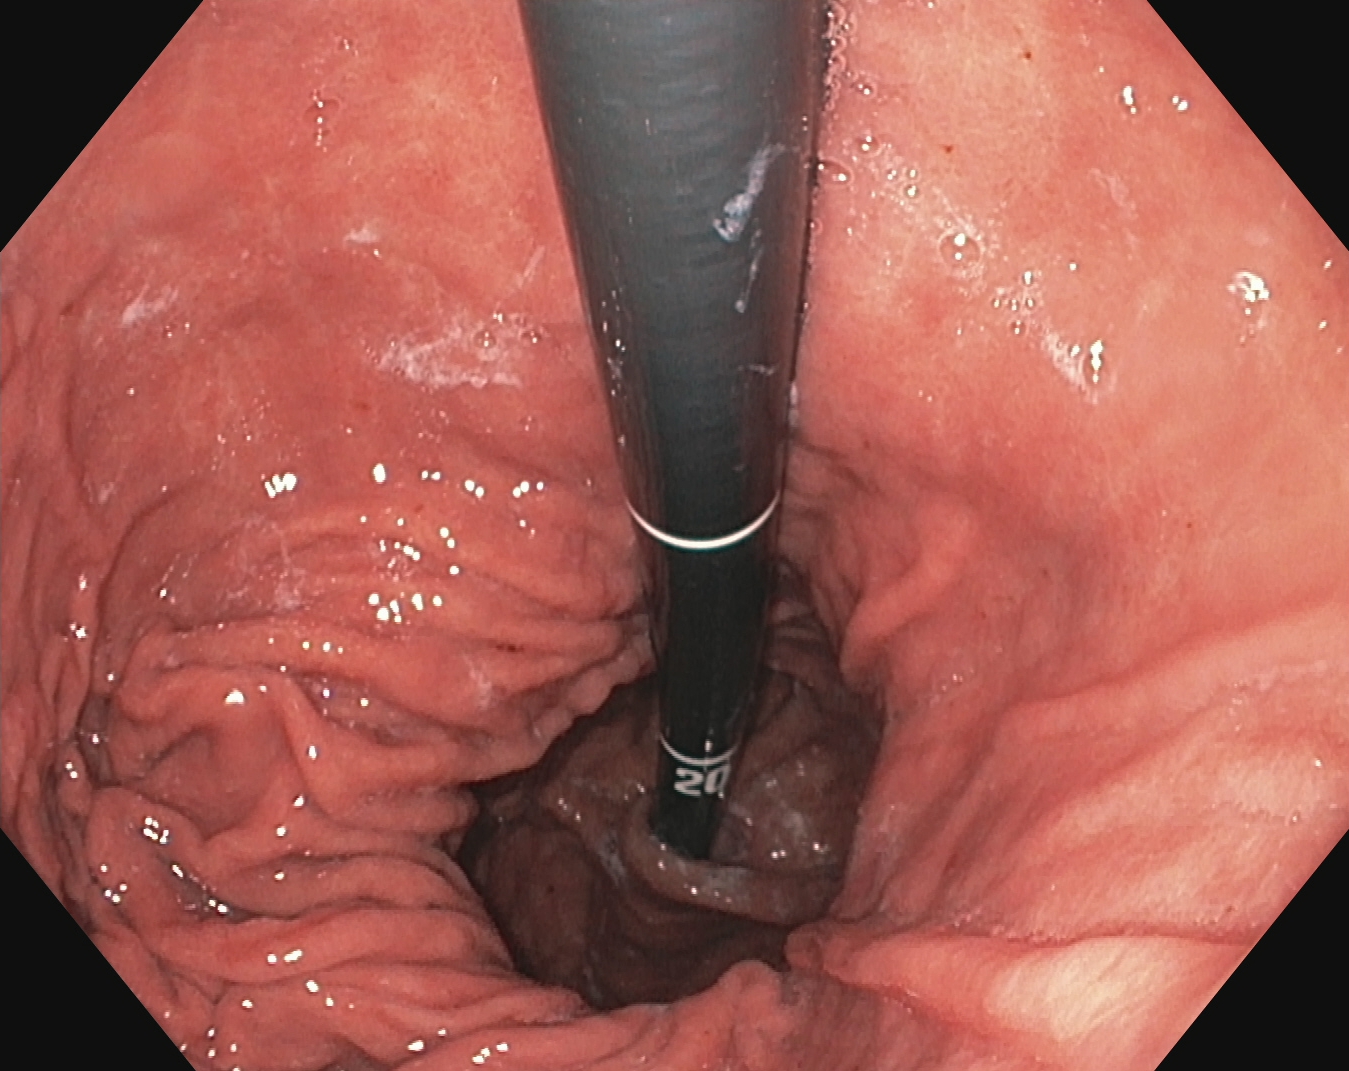Gastrointestinal endoscopy image showing stomach in retroflexion.